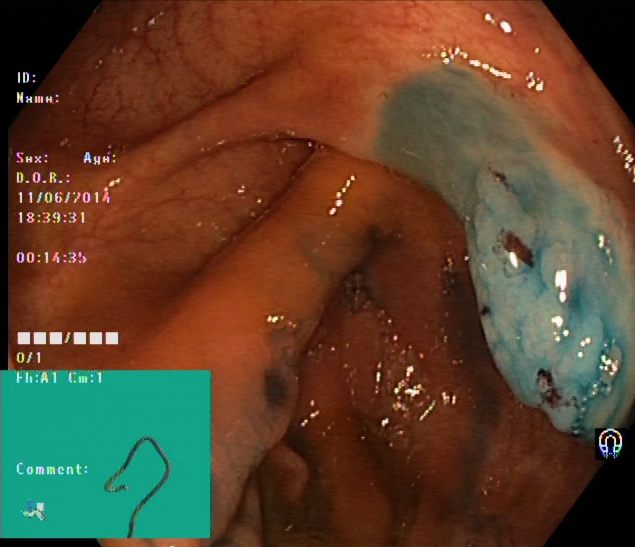Lower gastrointestinal endoscopy. Tract: lower GI tract. Finding: dyed and lifted polyp (pre-resection).